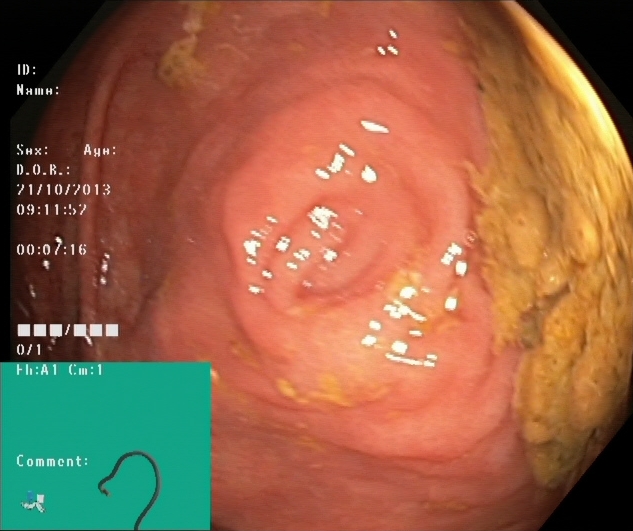Colonoscopy — cecum.